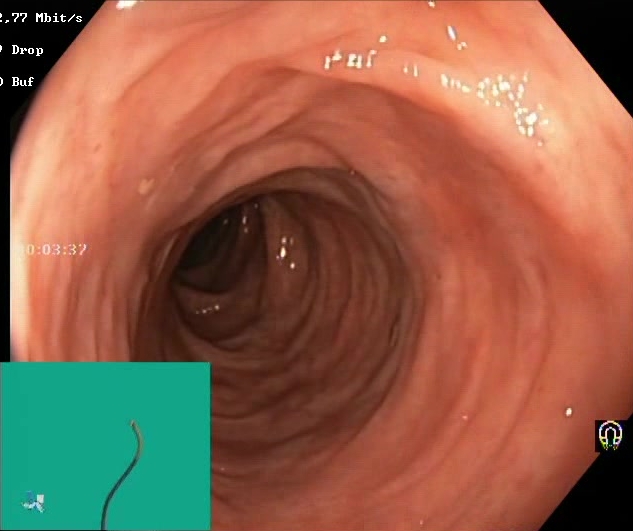modality: lower gastrointestinal endoscopy
tract: lower GI tract
finding: BBPS score 2–3 (adequate preparation)